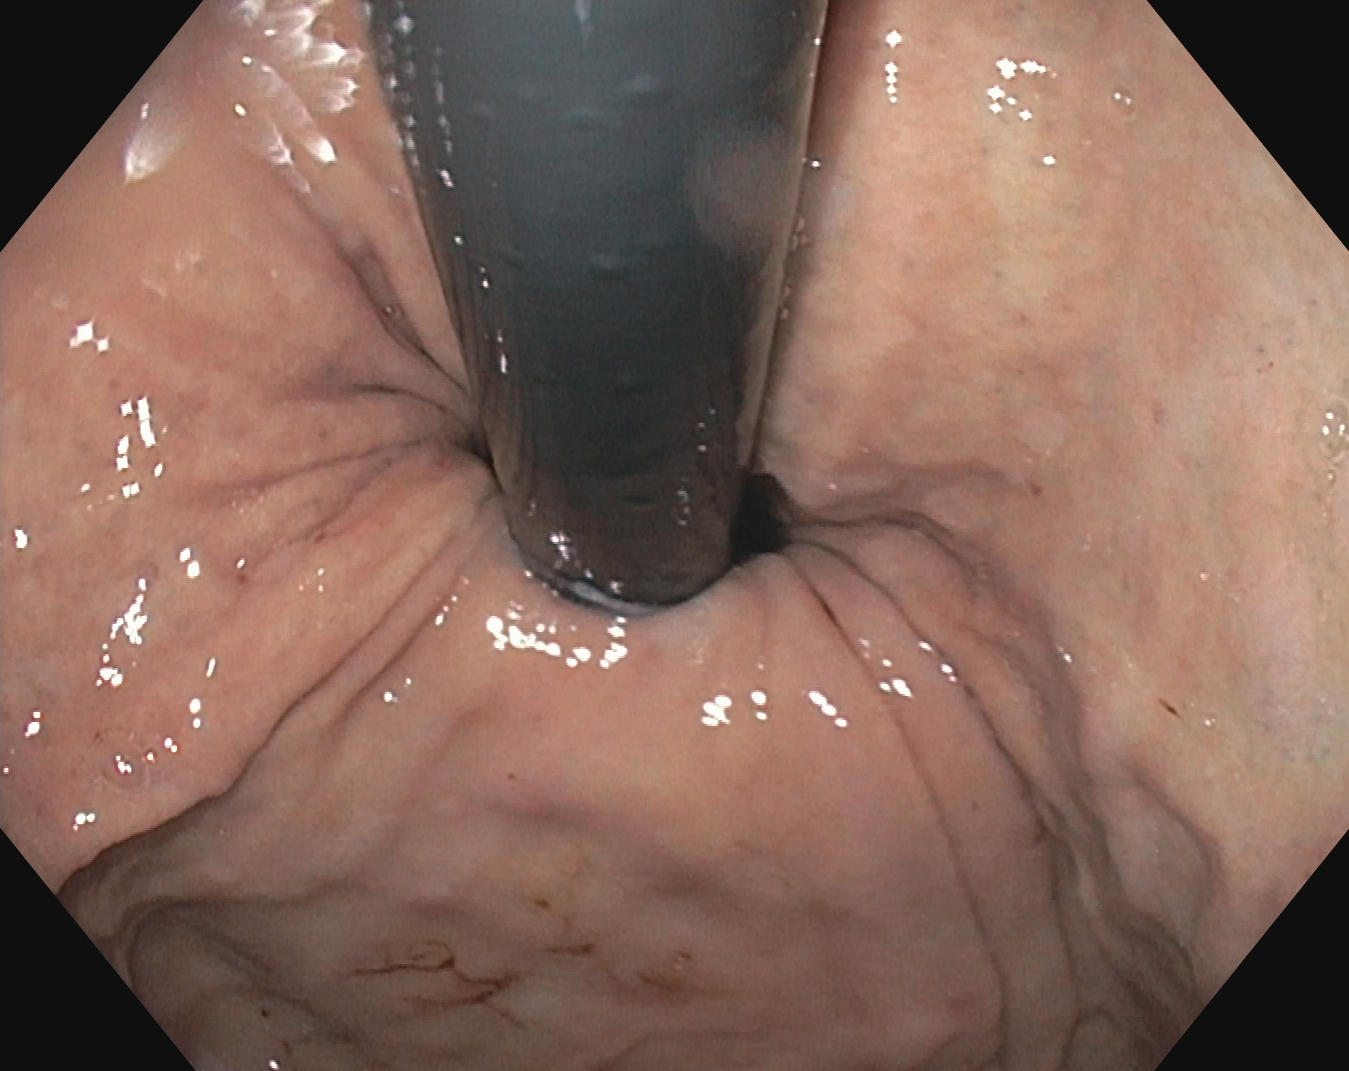Stomach in retroflexion.